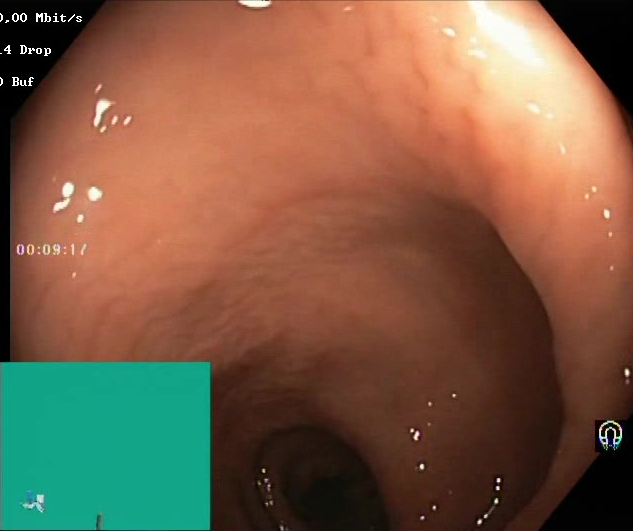Lower gastrointestinal endoscopy. Finding: Boston Bowel Preparation Scale score 2–3 (adequate preparation).